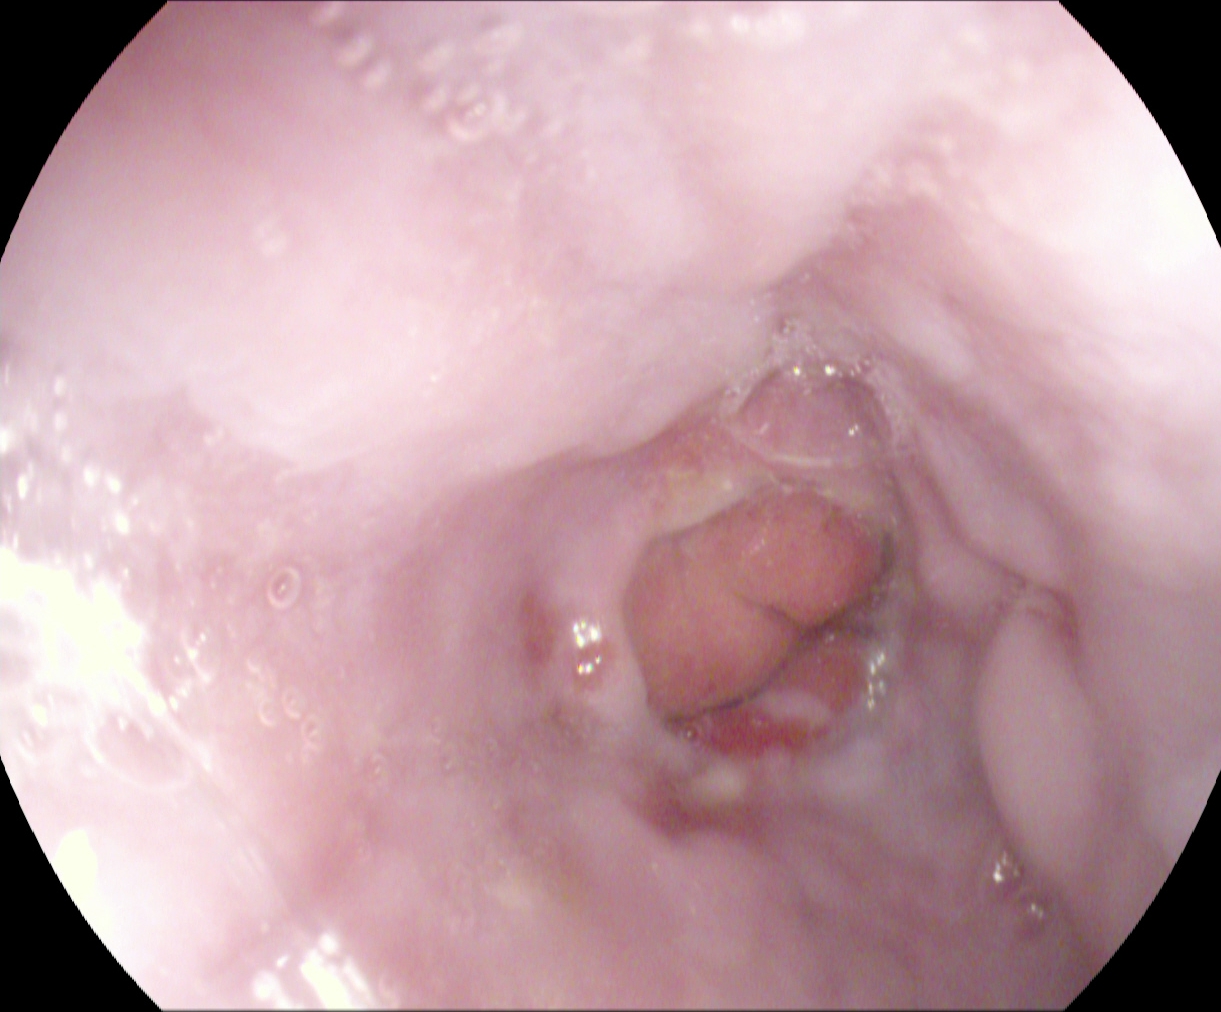PROCEDURE: Gastroscopy.
FINDINGS: Reflux esophagitis, Los Angeles grade A.